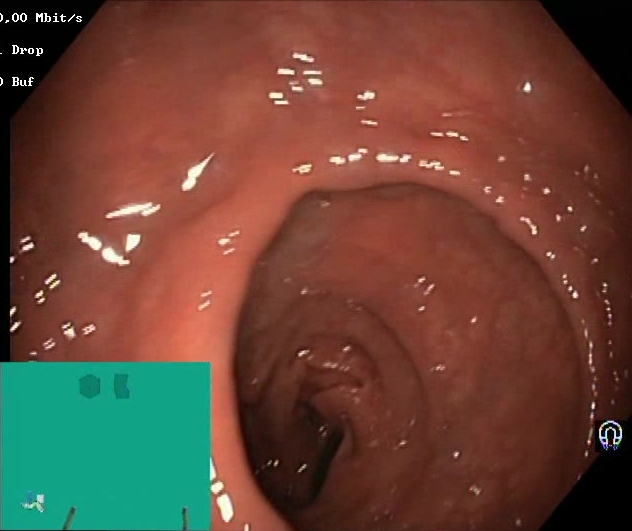Colonoscopy. Finding: Boston Bowel Preparation Scale score 2–3 (adequate preparation).